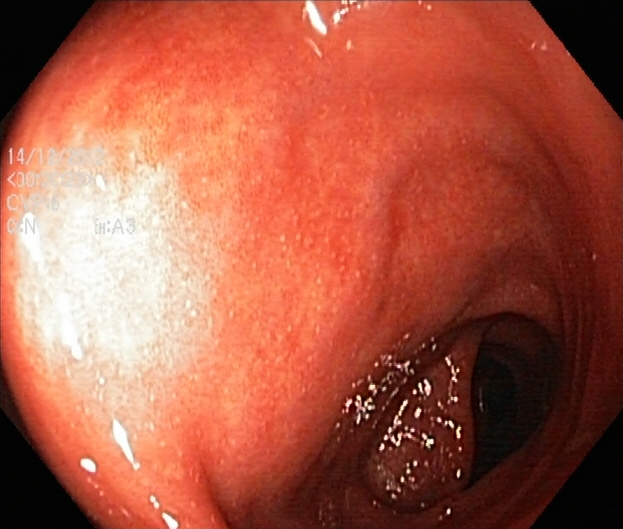{"modality": "lower-GI endoscopy", "tract": "lower GI tract", "finding": "ulcerative colitis, Mayo endoscopic subscore 2"}